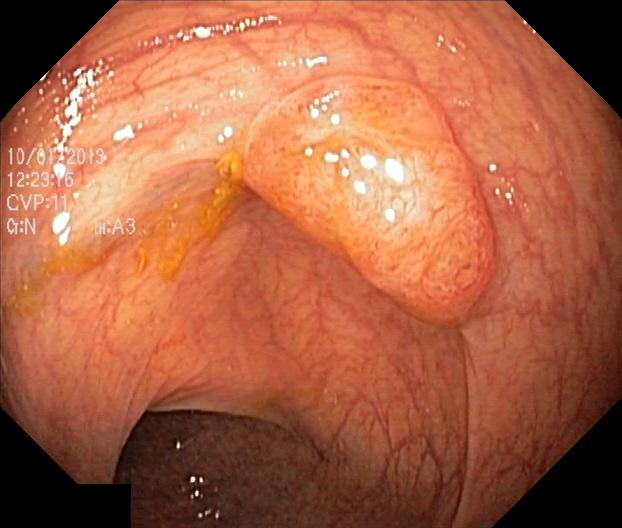Colonoscopy. Tract: lower GI tract. Finding: colorectal polyp(s).